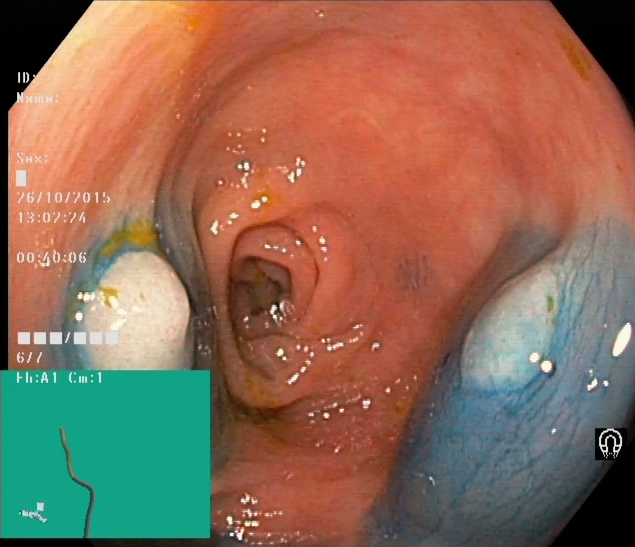Colonoscopy — dyed and lifted polyp (pre-resection).